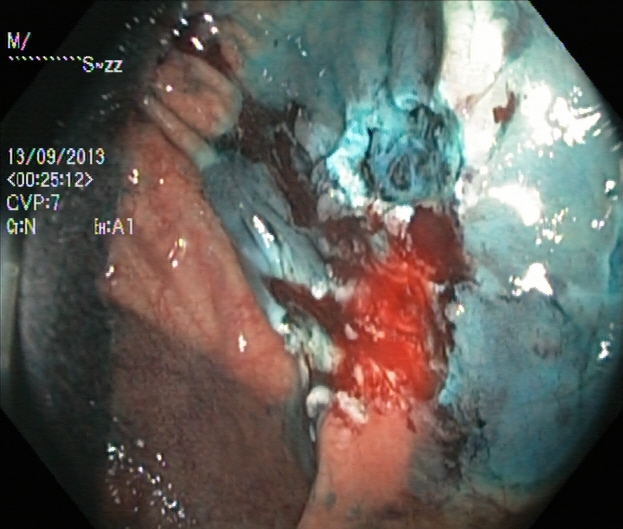Dyed resection margins (post-polypectomy).